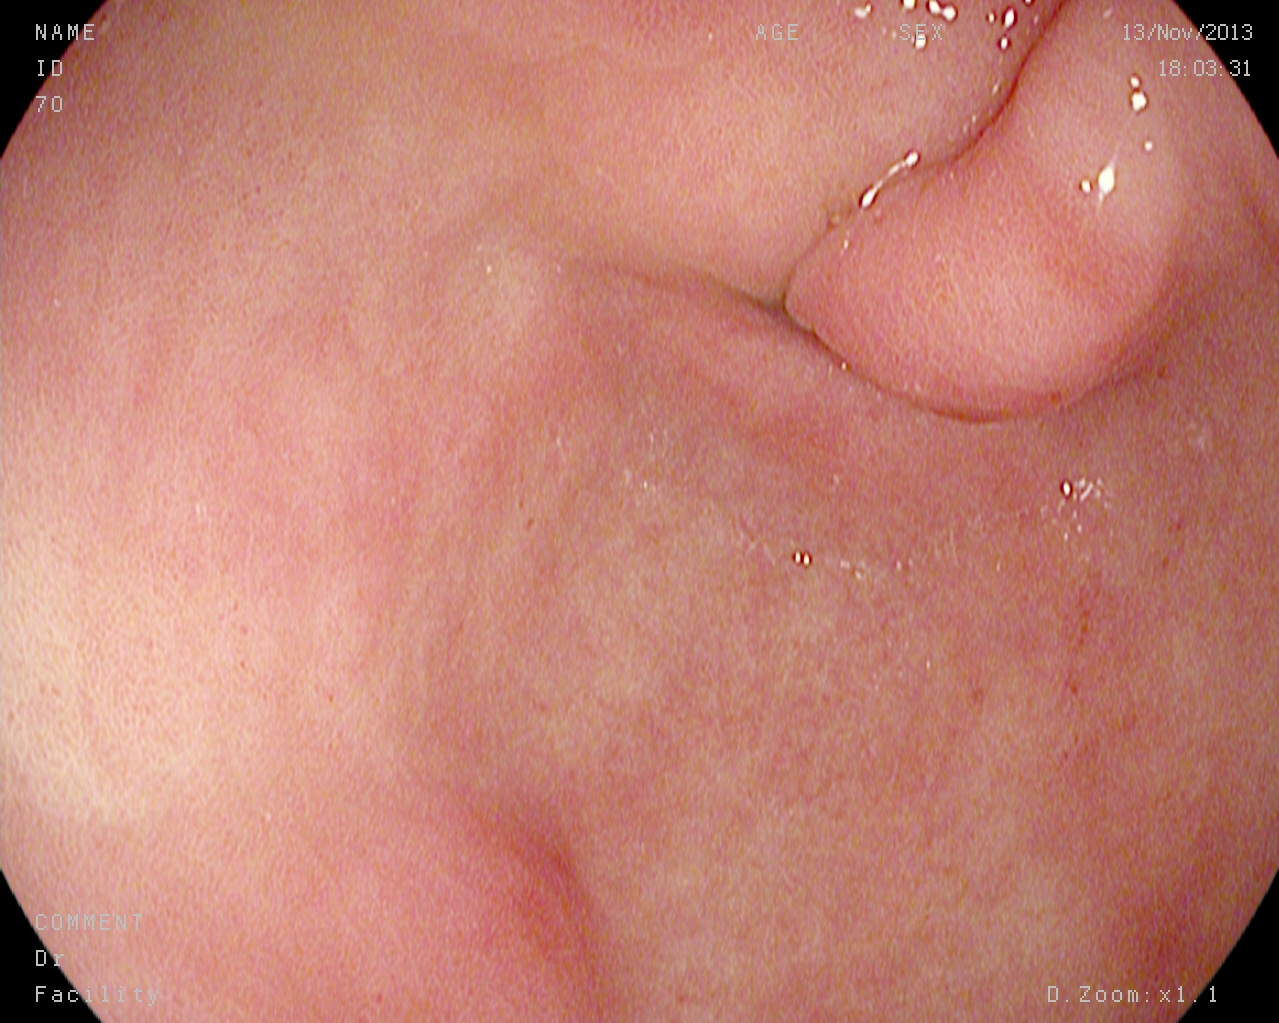Esophagogastroduodenoscopy. Tract: upper GI tract. Finding: pylorus.